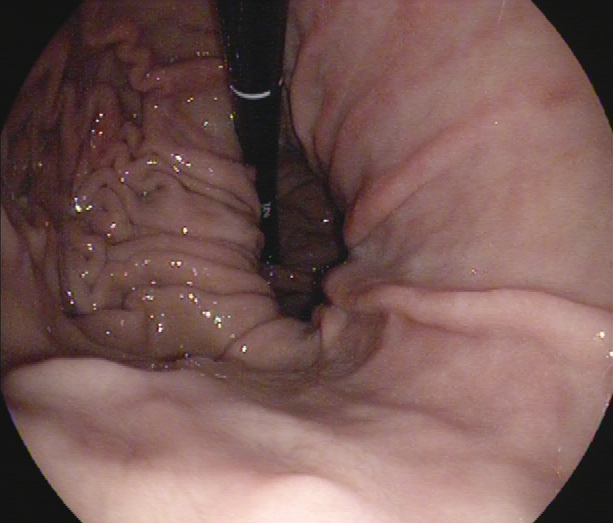Stomach in retroflexion.